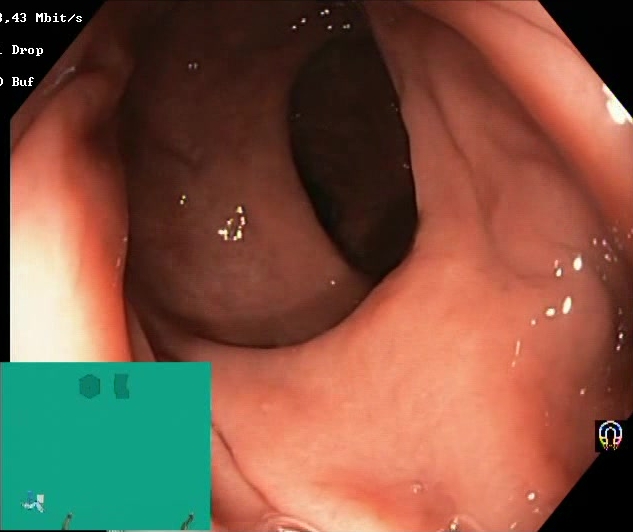modality: lower-GI endoscopy | tract: lower GI tract | category: mucosal-view quality | finding: Boston Bowel Preparation Scale score 2–3 (adequate preparation)